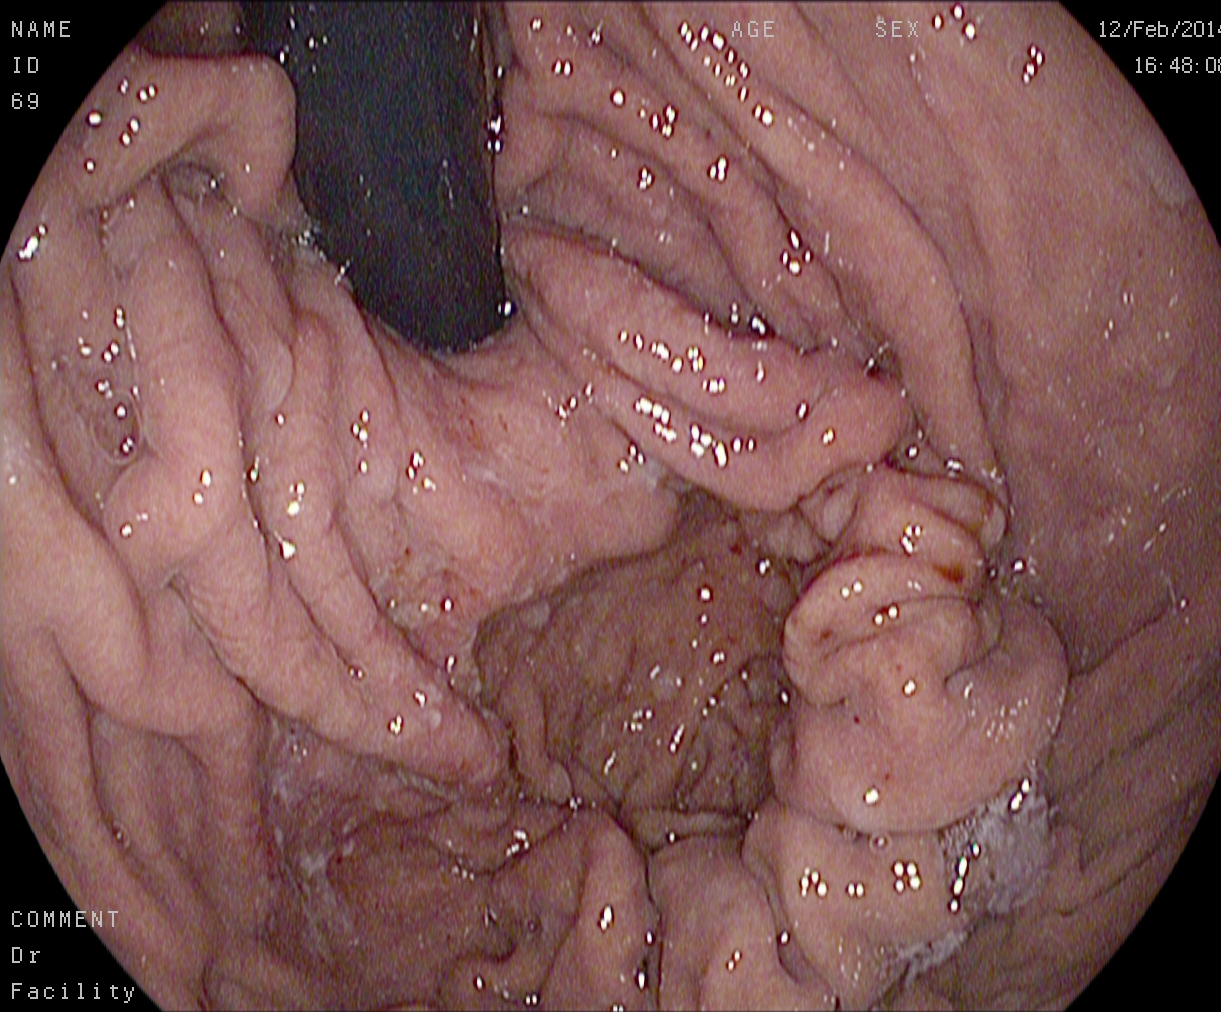PROCEDURE: Gastroscopy.
FINDINGS: Stomach in retroflexion.